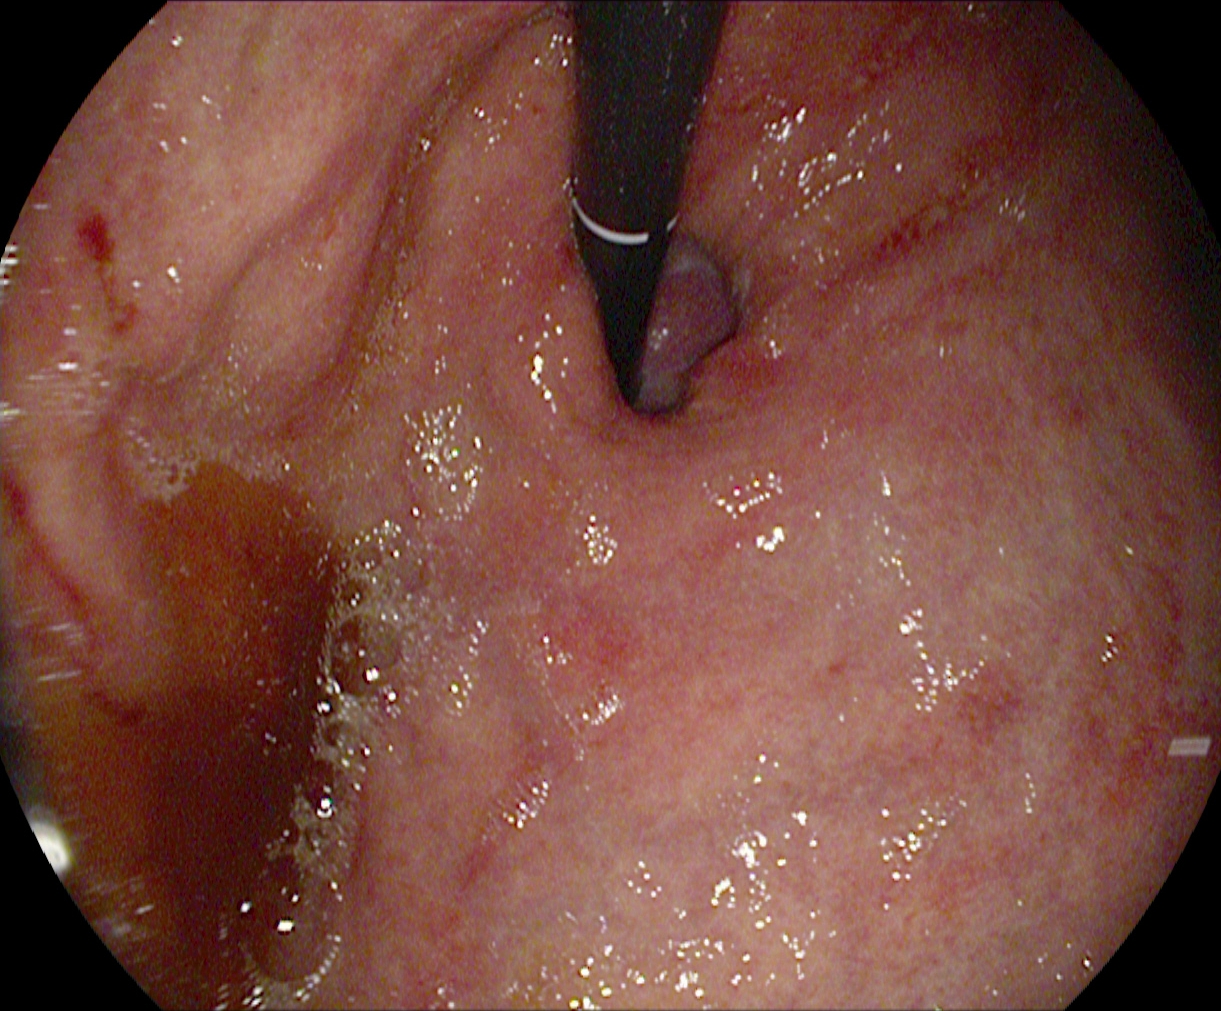Stomach in retroflexion.